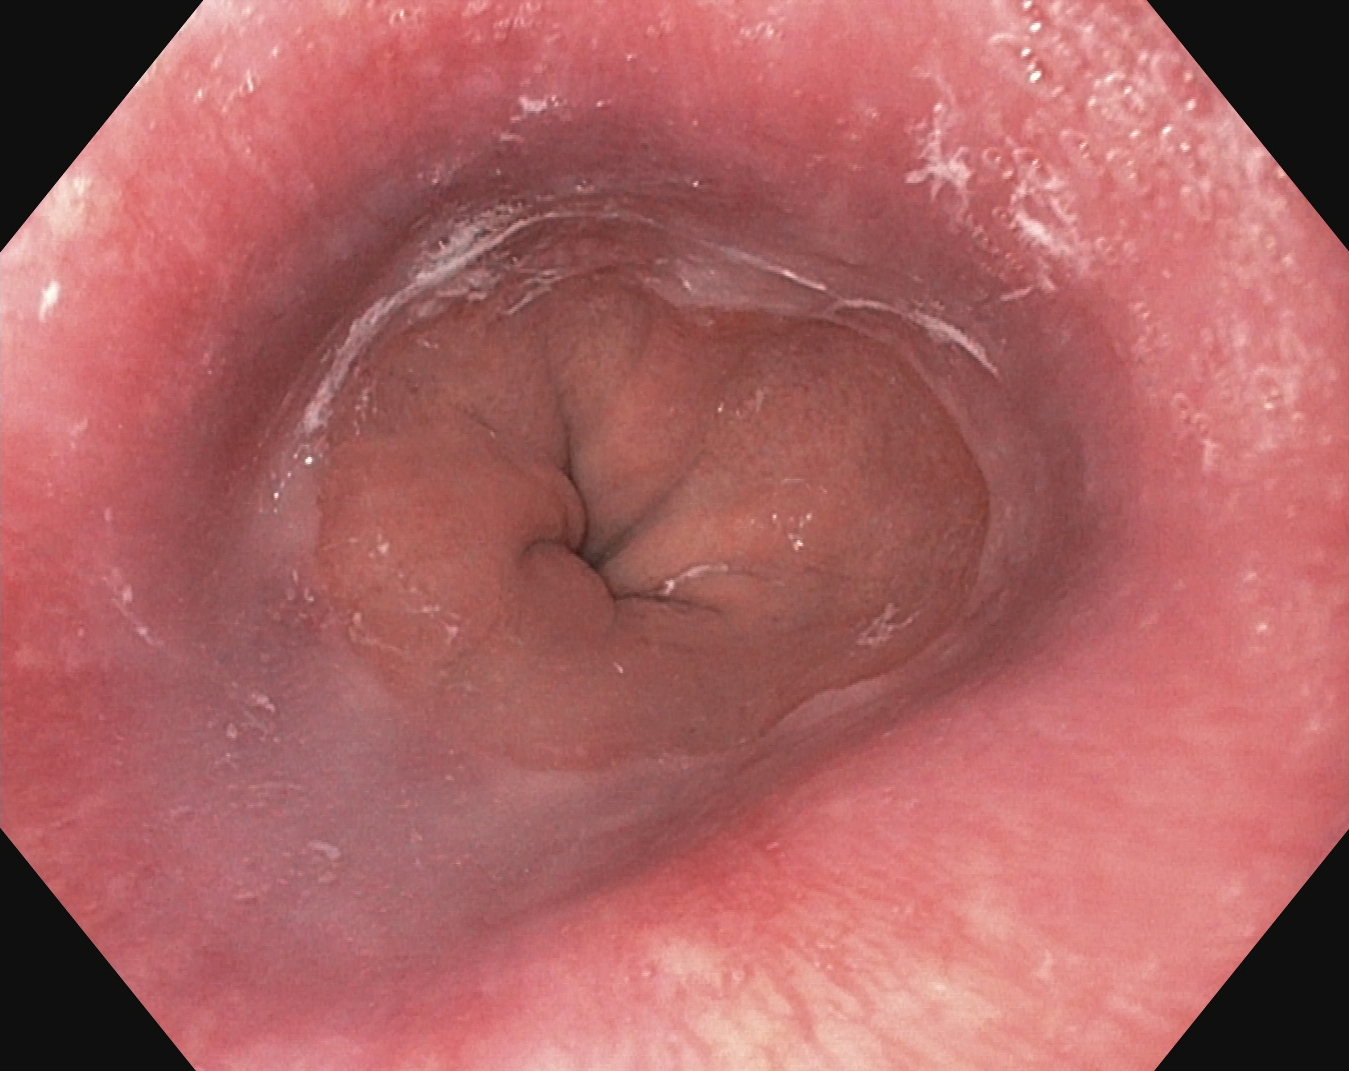Z-line (gastroesophageal junction).